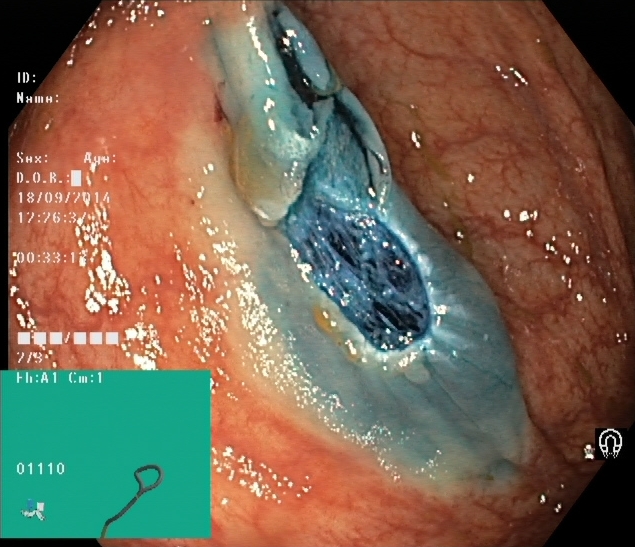Endoscopy image of the lower GI tract showing dyed resection margins (post-polypectomy).